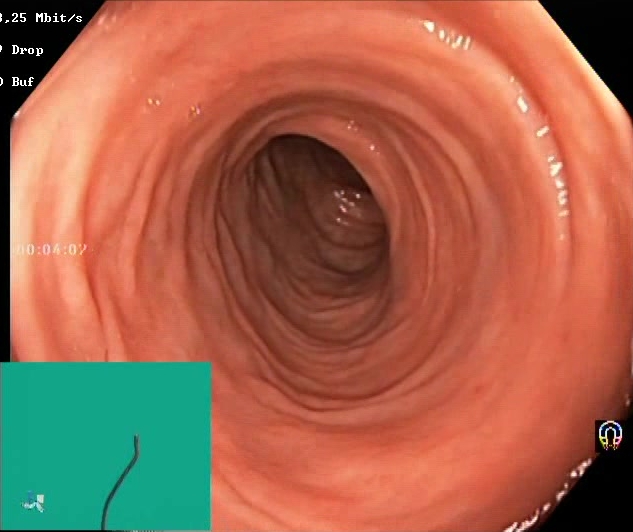This endoscopic image shows Boston Bowel Preparation Scale score 2–3 (adequate preparation).